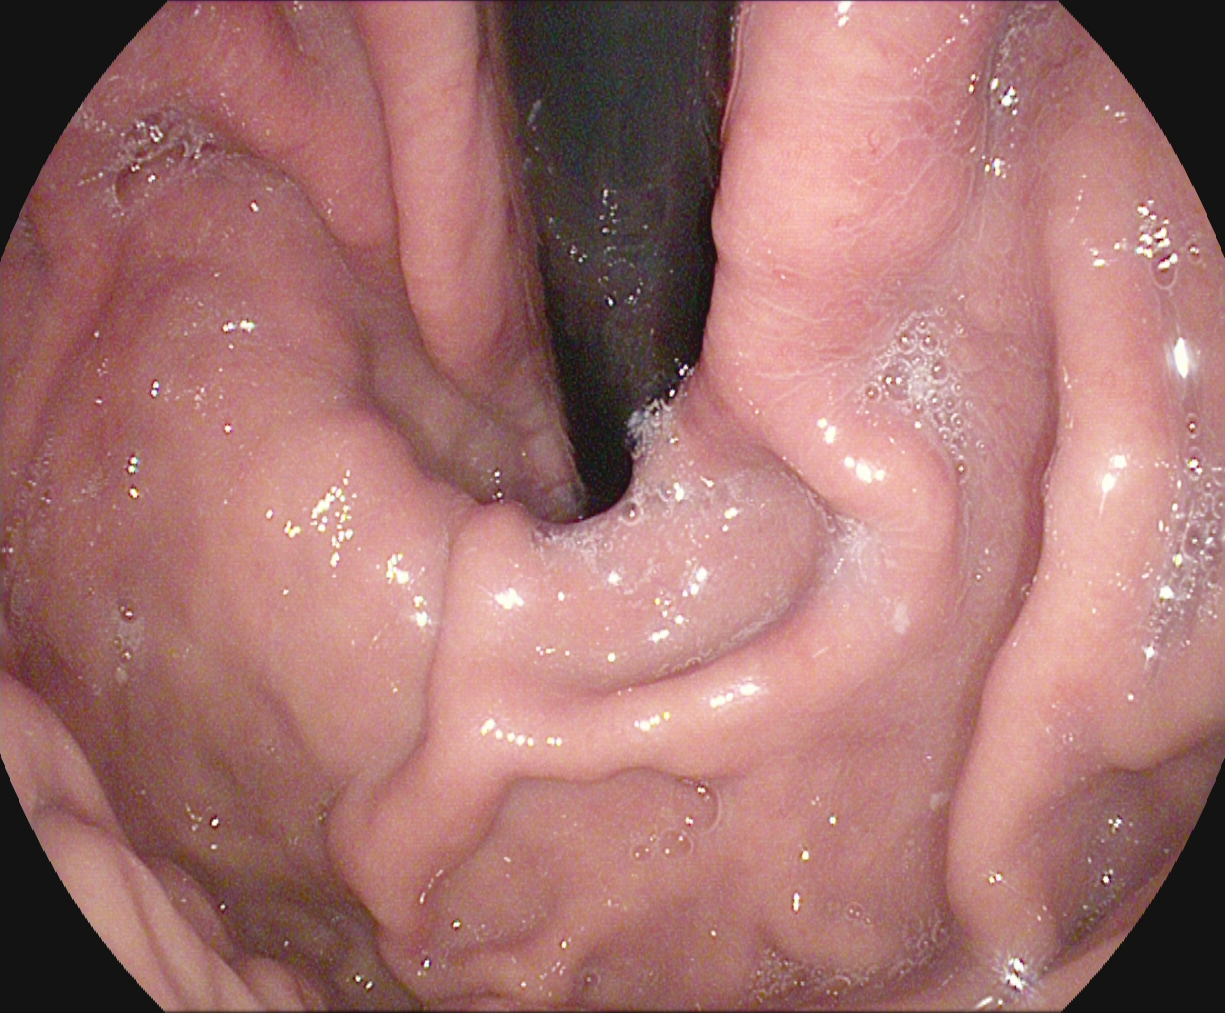modality: upper-GI endoscopy | finding: stomach in retroflexion